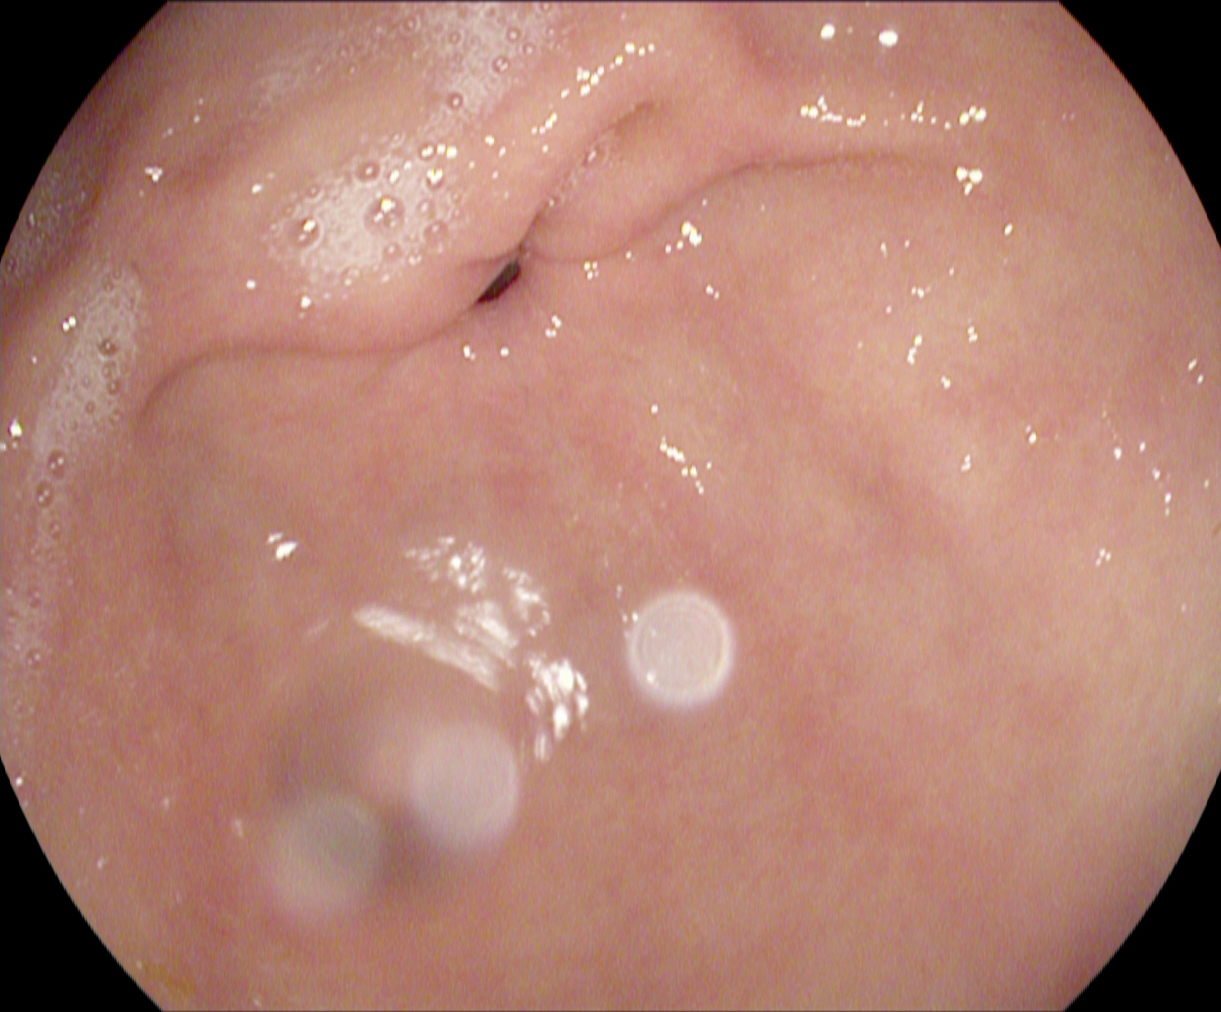{"modality": "EGD", "tract": "upper GI tract", "category": "anatomical landmark", "finding": "pylorus"}